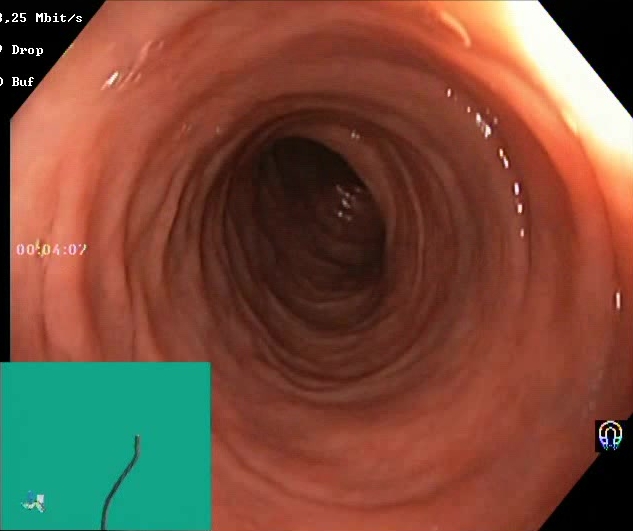Colonoscopy — Boston Bowel Preparation Scale score 2–3 (adequate preparation).